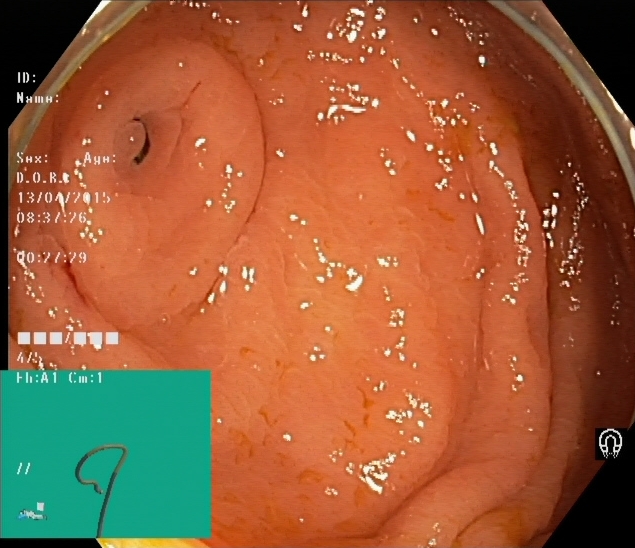Endoscopic image showing cecum.